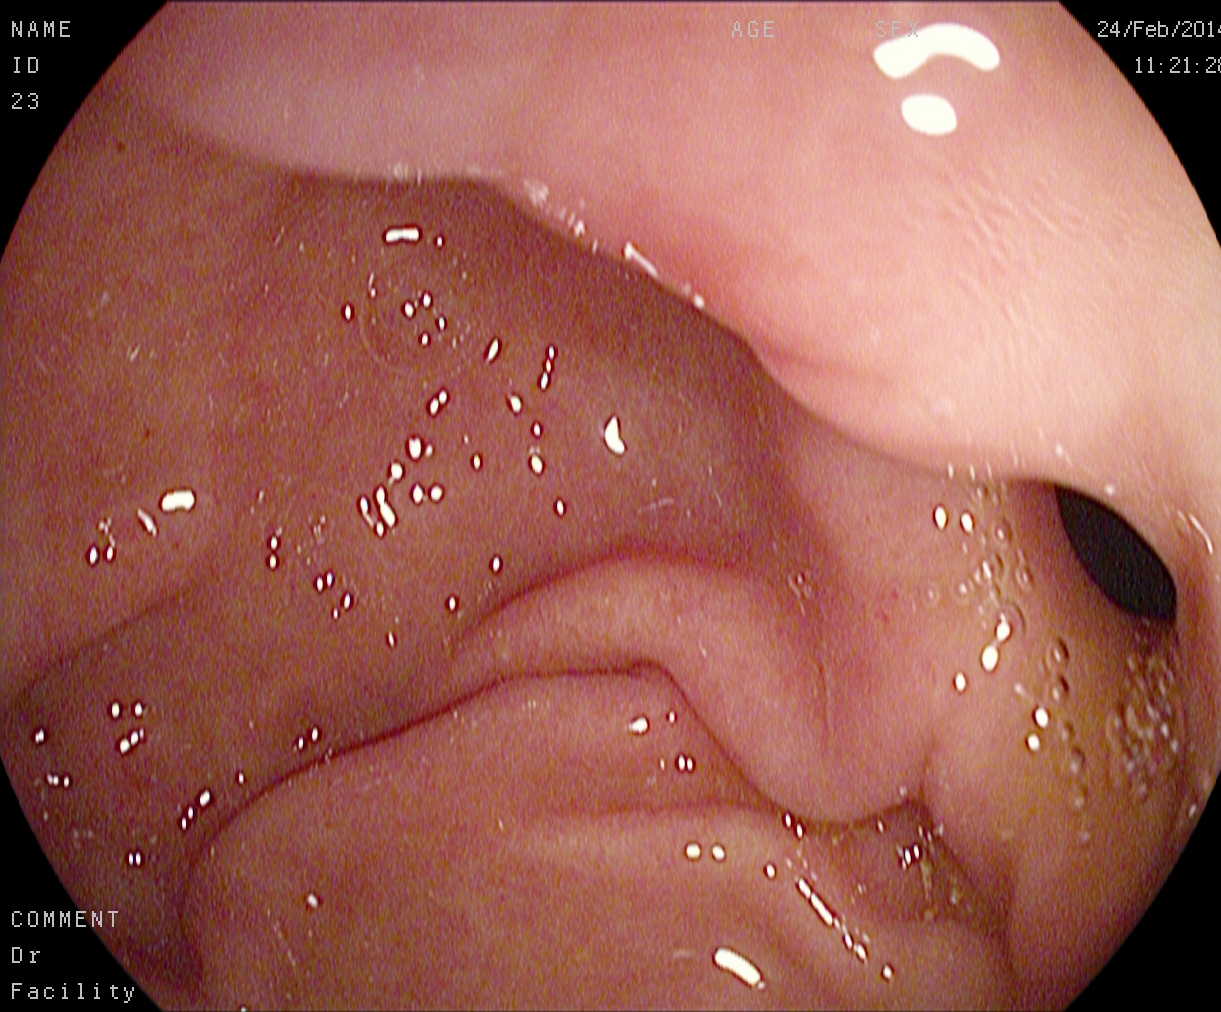modality: gastroscopy | tract: upper GI tract | category: anatomical landmark | finding: pylorus